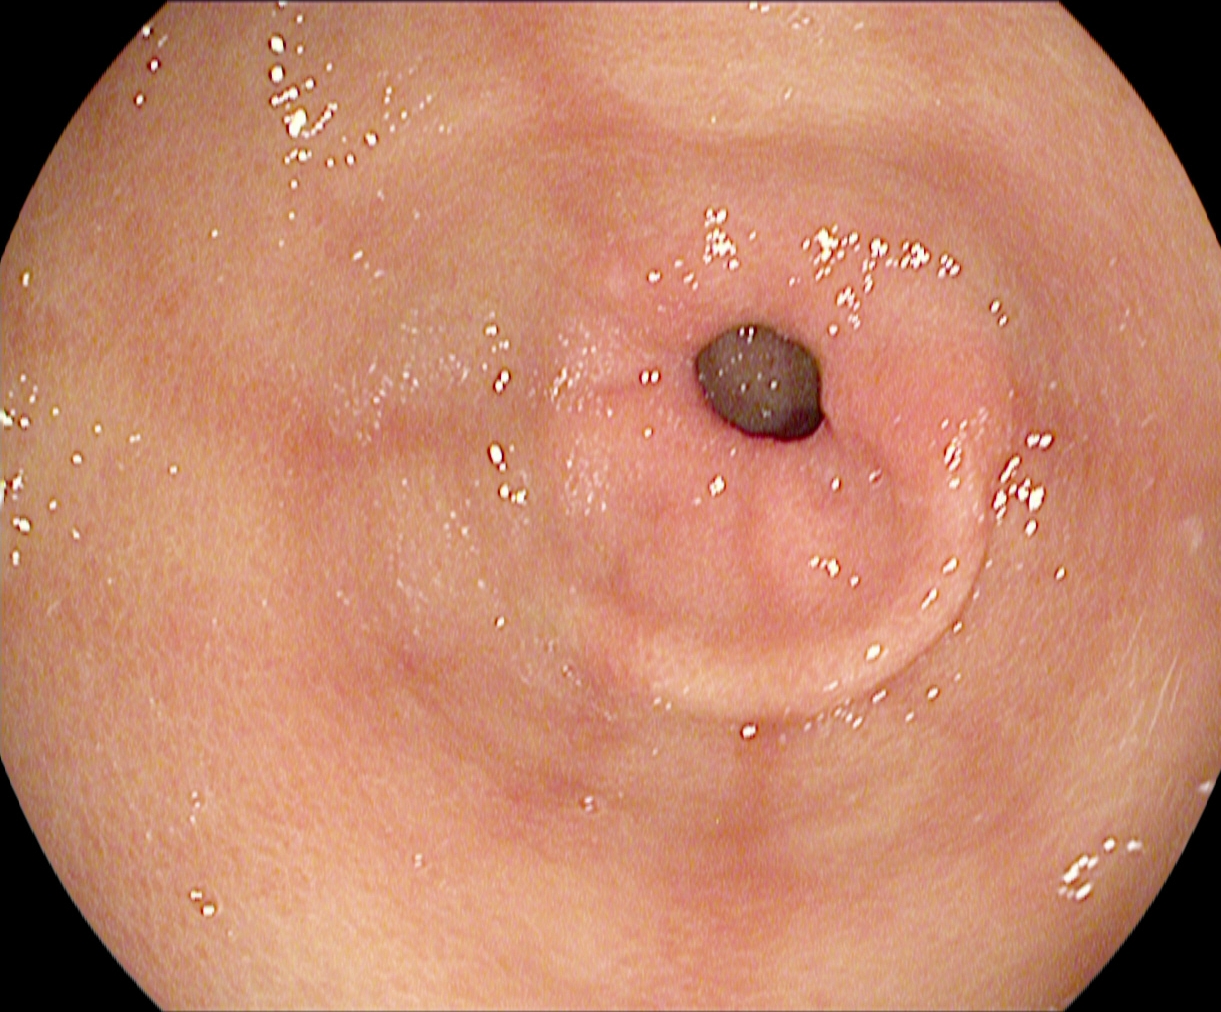modality: EGD
tract: upper GI tract
finding: pylorus